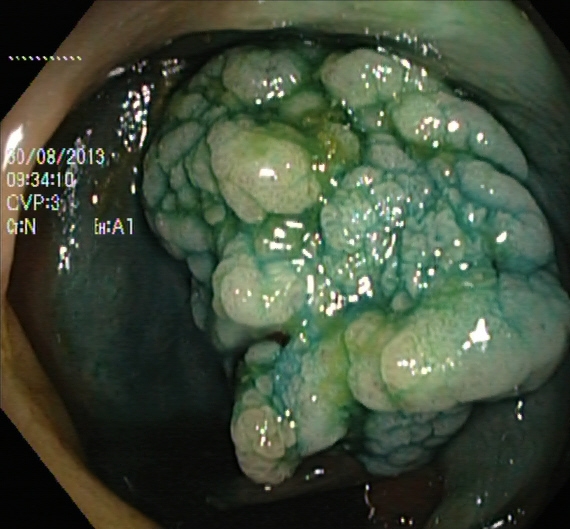modality: lower-GI endoscopy; finding: dyed and lifted polyp (pre-resection)